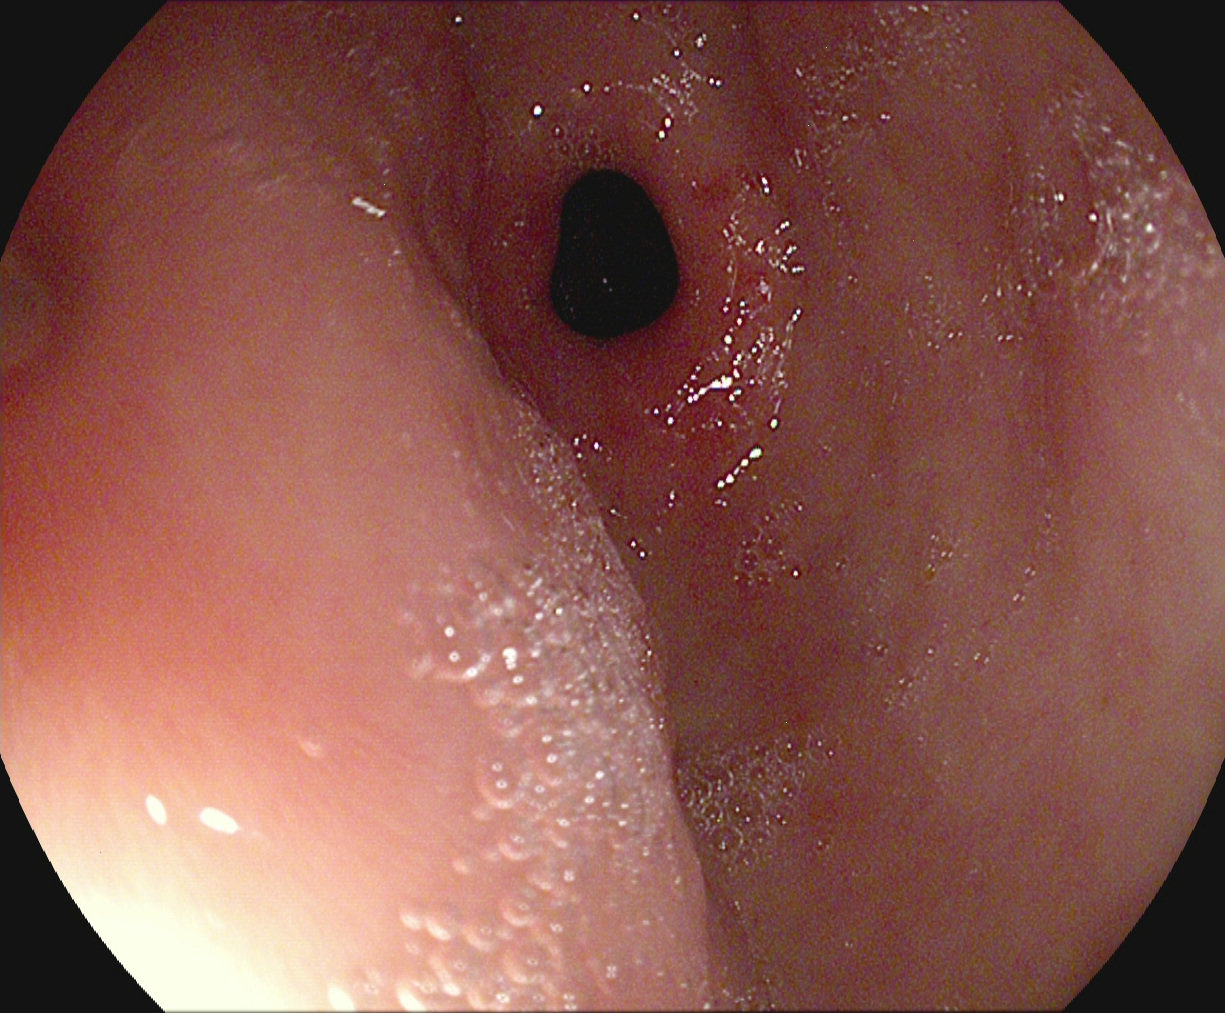Esophagogastroduodenoscopy — pylorus.